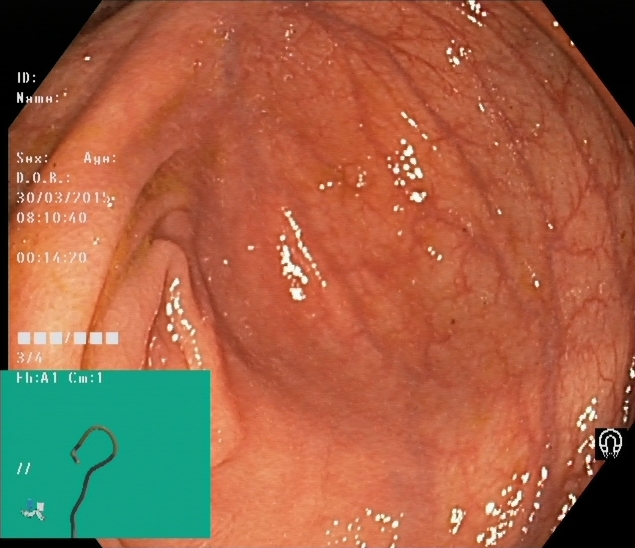PROCEDURE: Lower gastrointestinal endoscopy.
FINDINGS: Cecum.